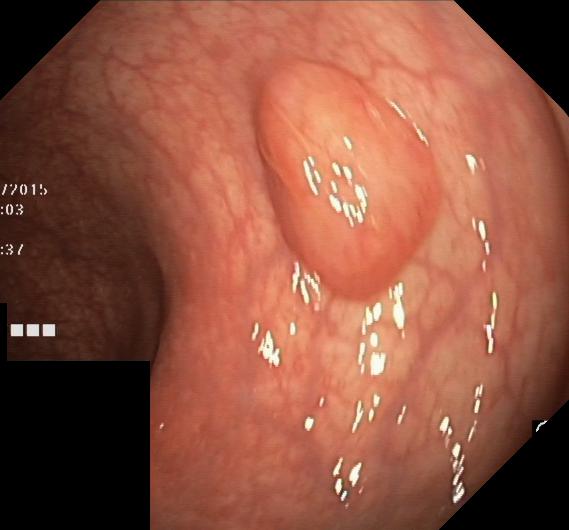modality: colonoscopy; tract: lower GI tract; category: pathological finding; finding: colorectal polyp(s)